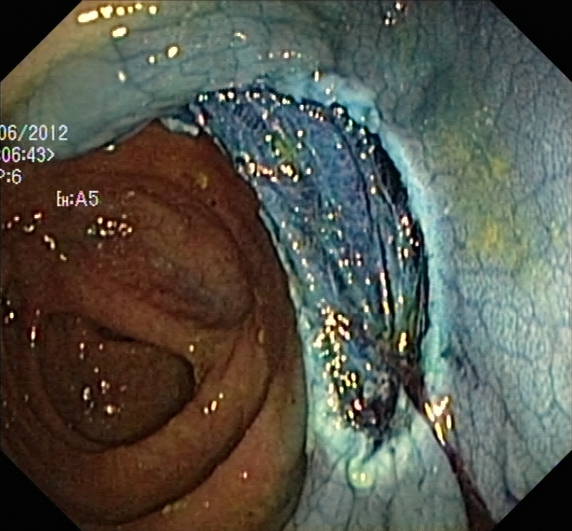Dyed resection margins (post-polypectomy).